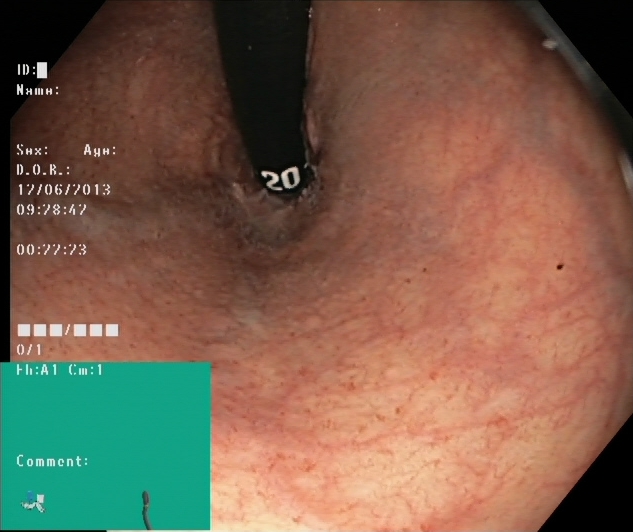PROCEDURE: Colonoscopy.
CATEGORY: Anatomical landmark.
FINDINGS: Rectum in retroflexion.